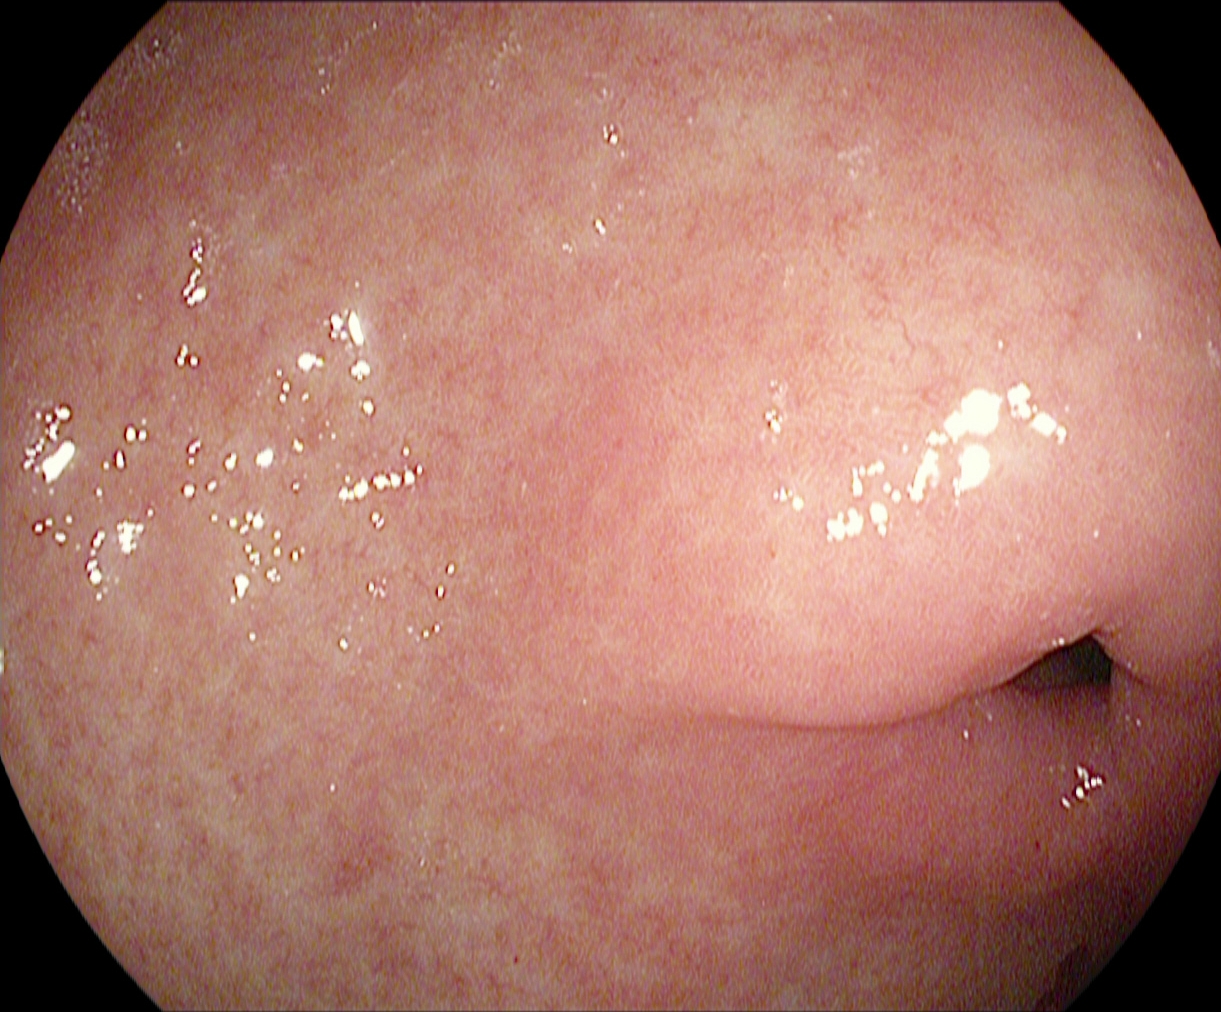{"modality": "EGD", "finding": "pylorus"}